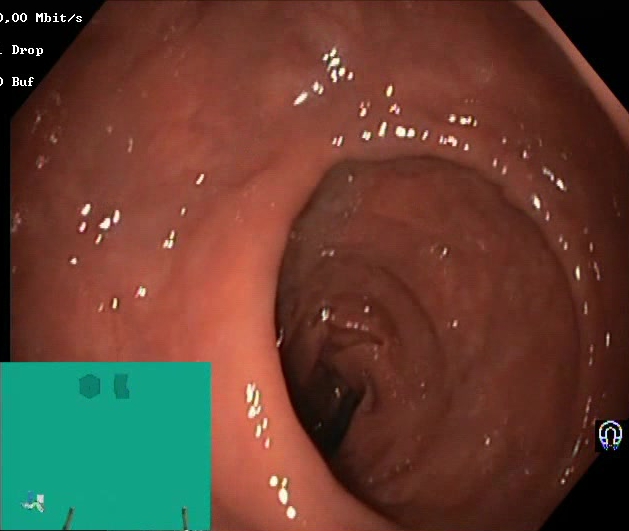Lower-GI endoscopy. Tract: lower GI tract. Finding: Boston Bowel Preparation Scale score 2–3 (adequate preparation).